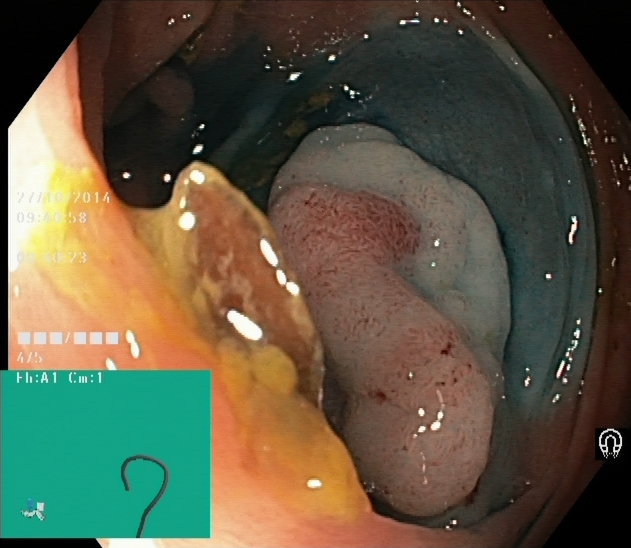{"modality": "lower-GI endoscopy", "tract": "lower GI tract", "category": "therapeutic intervention", "finding": "dyed and lifted polyp (pre-resection)"}